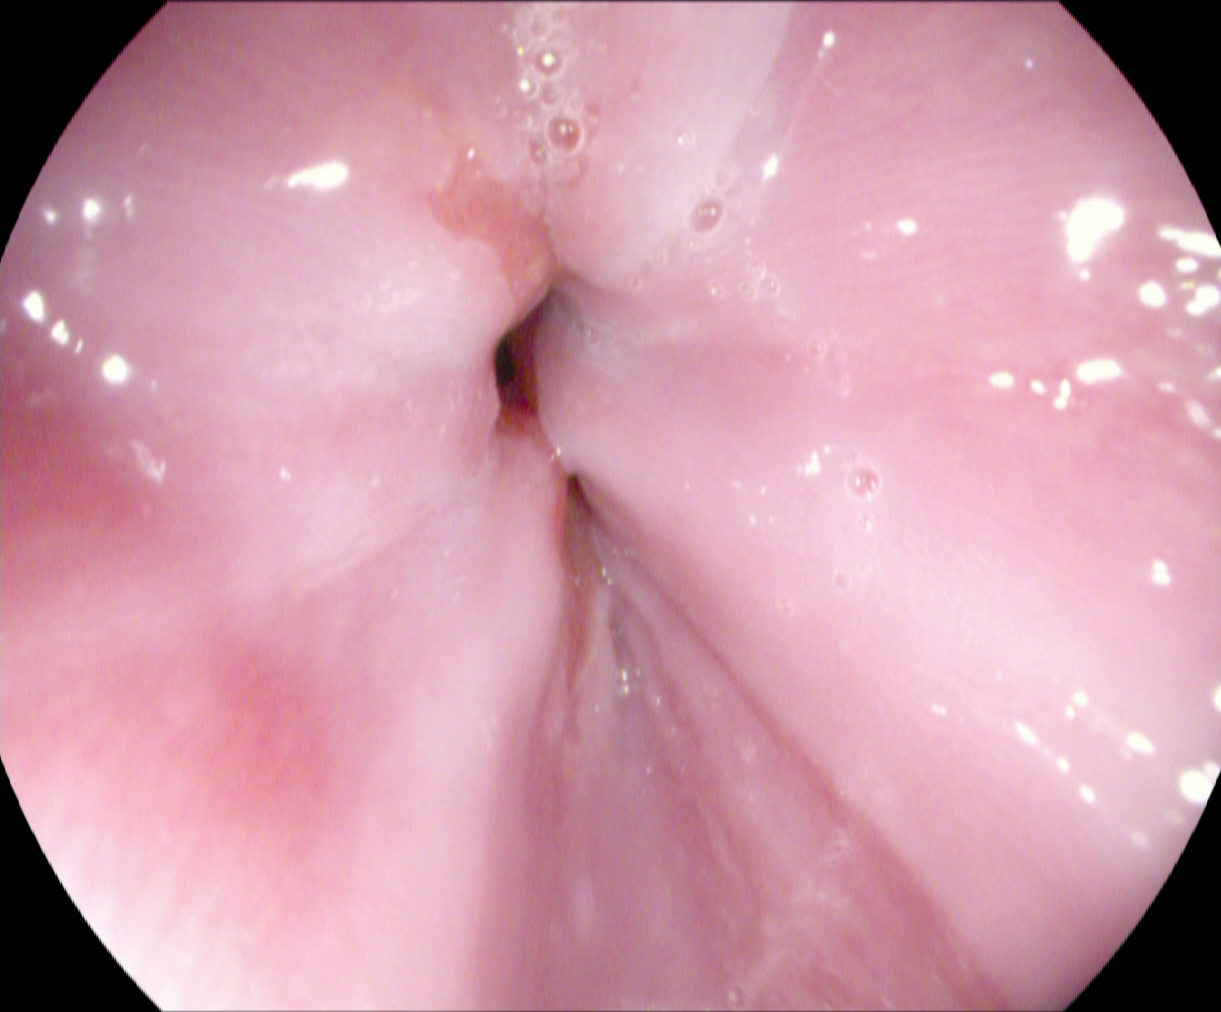This endoscopic image shows Z-line (gastroesophageal junction).